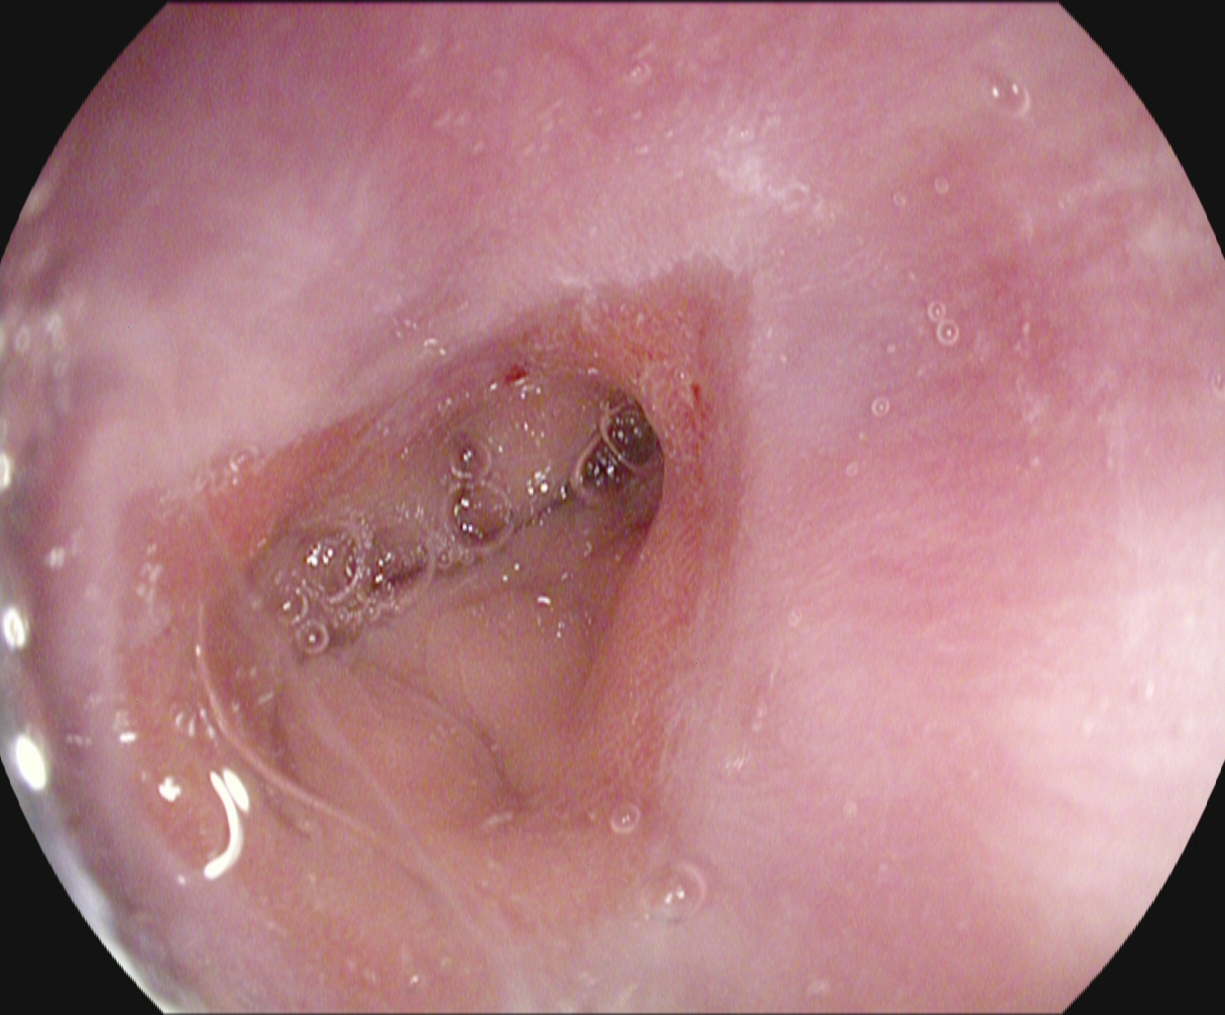Reflux esophagitis, Los Angeles grade A.